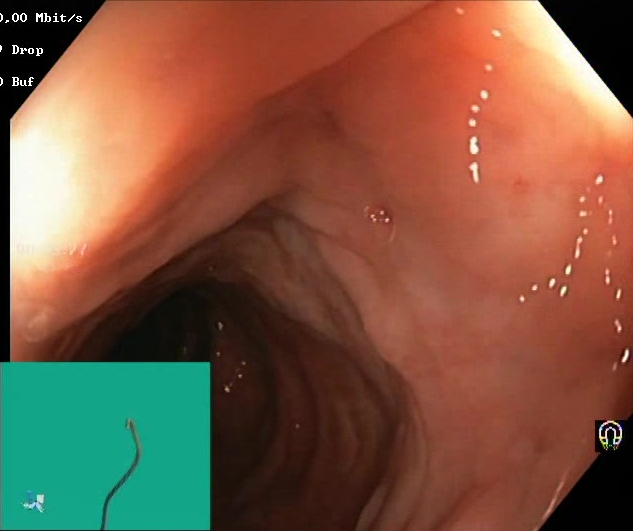This endoscopy frame shows Boston Bowel Preparation Scale score 2–3 (adequate preparation).